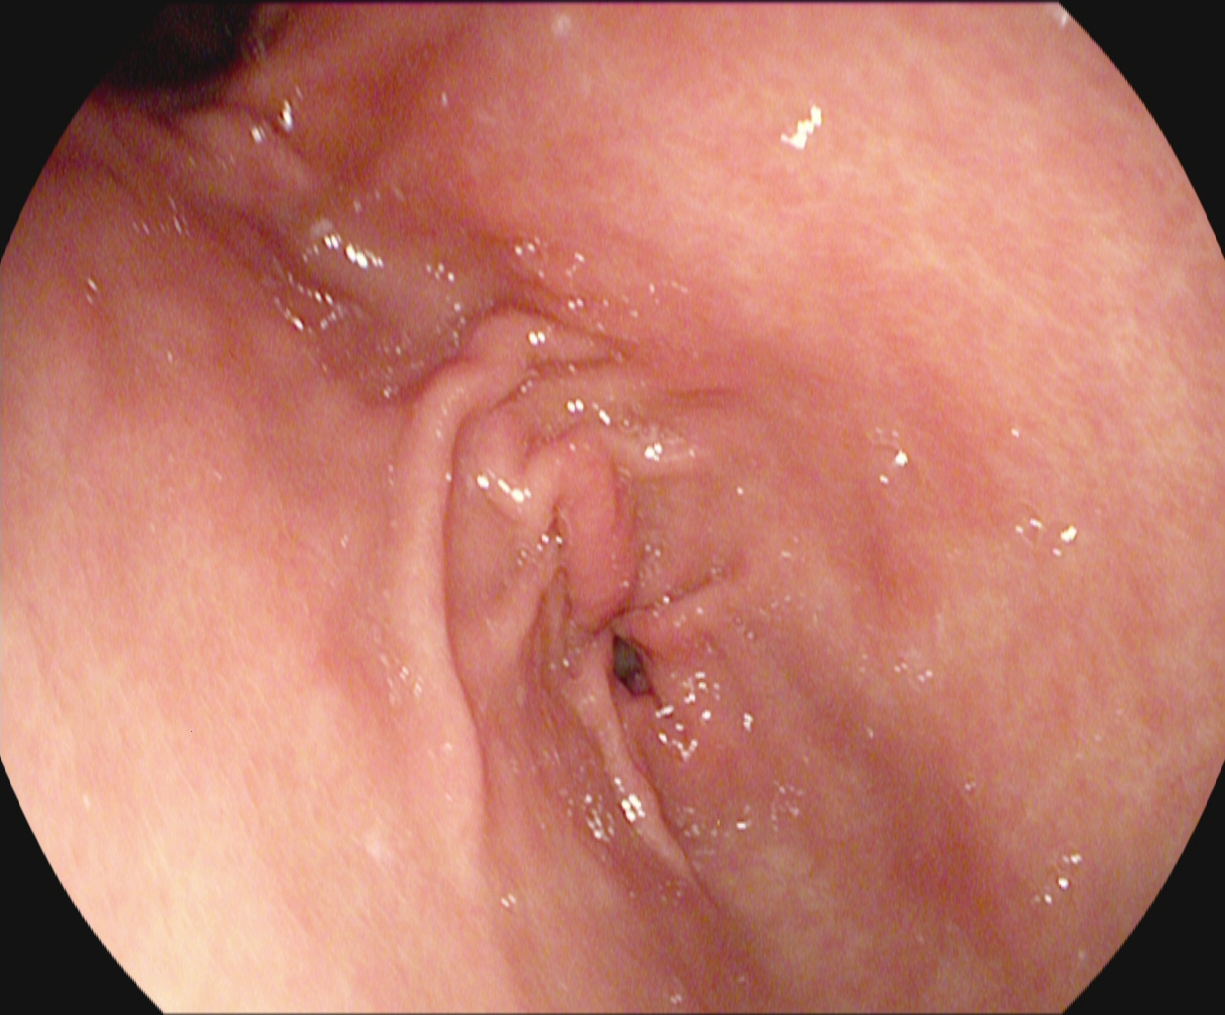Pylorus.